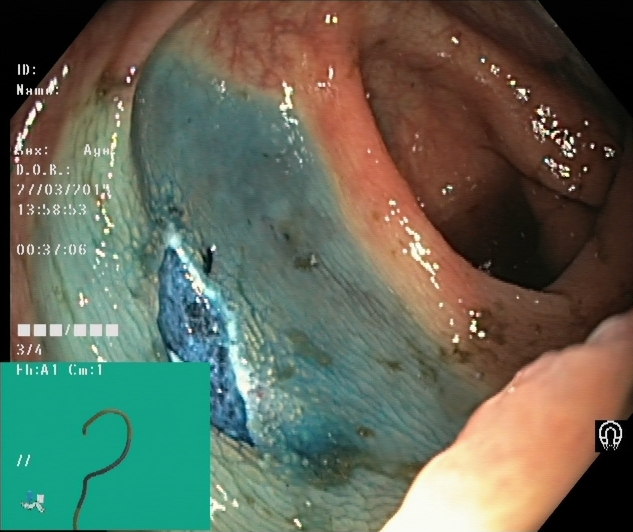Colonoscopy. Tract: lower GI tract. Therapeutic intervention. Finding: dyed resection margins (post-polypectomy).